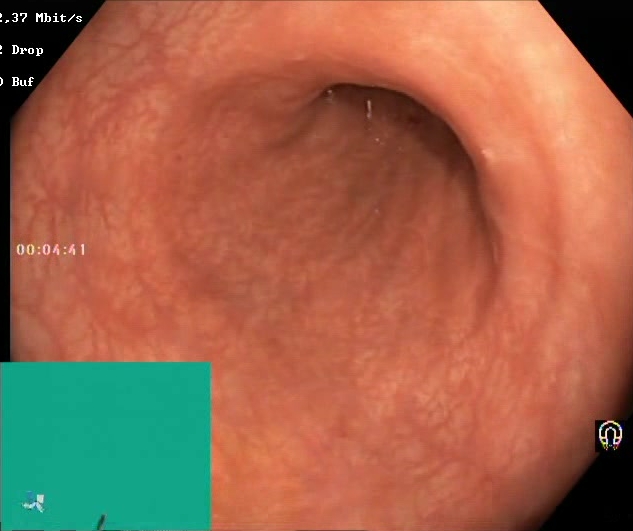Lower-GI endoscopy. Tract: lower GI tract. Finding: BBPS score 2–3 (adequate preparation).